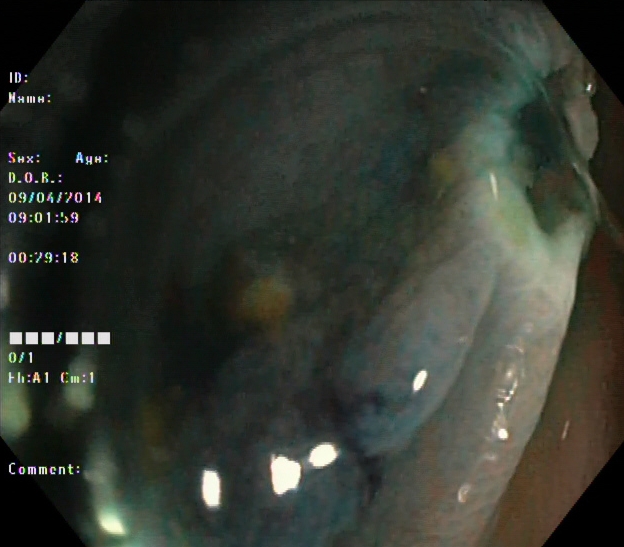Lower gastrointestinal endoscopy — dyed resection margins (post-polypectomy).